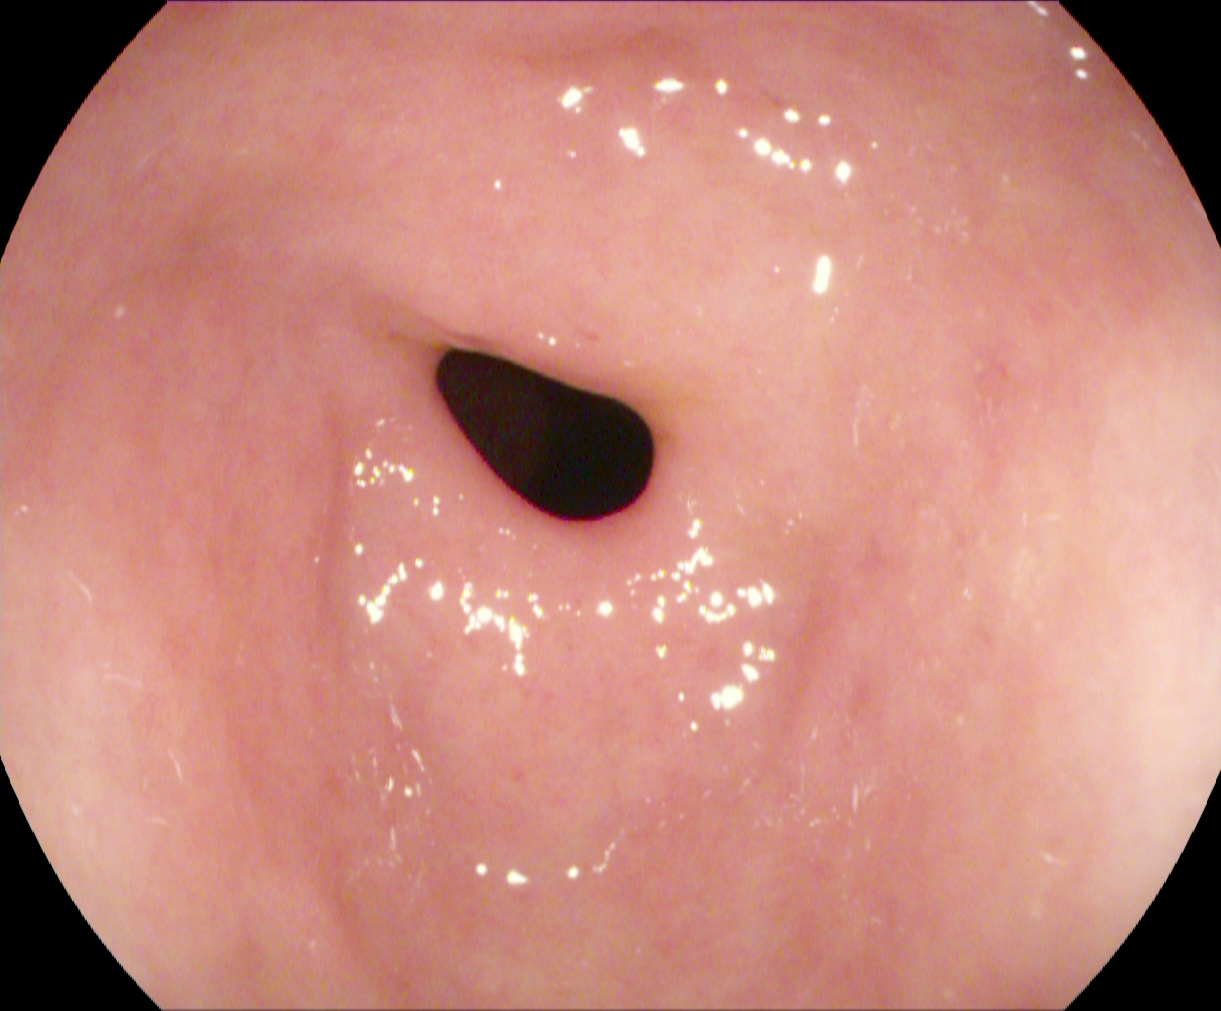Esophagogastroduodenoscopy. Anatomical landmark. Finding: pylorus.